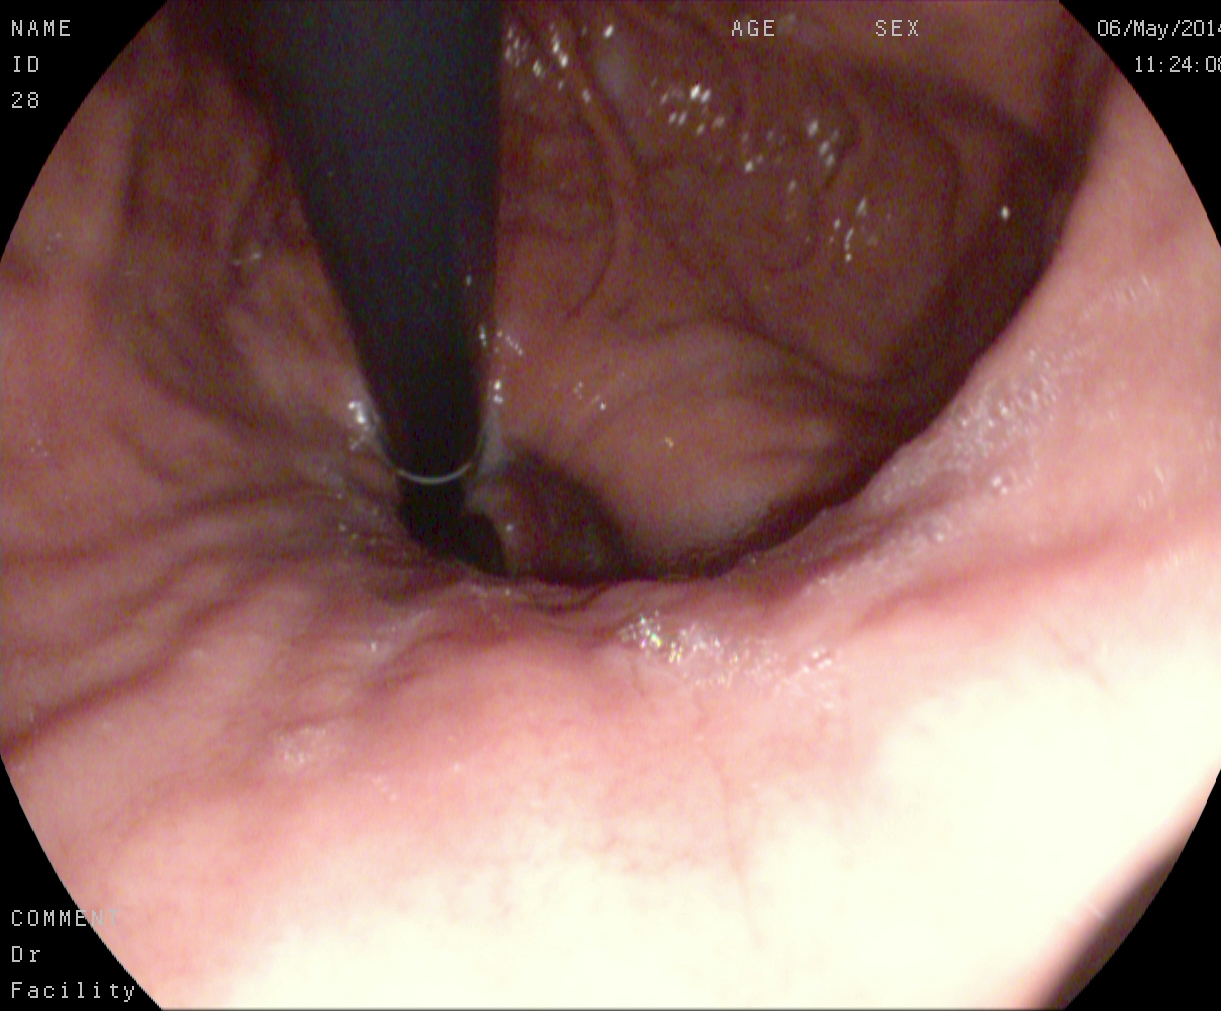Esophagogastroduodenoscopy. Tract: upper GI tract. Anatomical landmark. Finding: stomach in retroflexion.